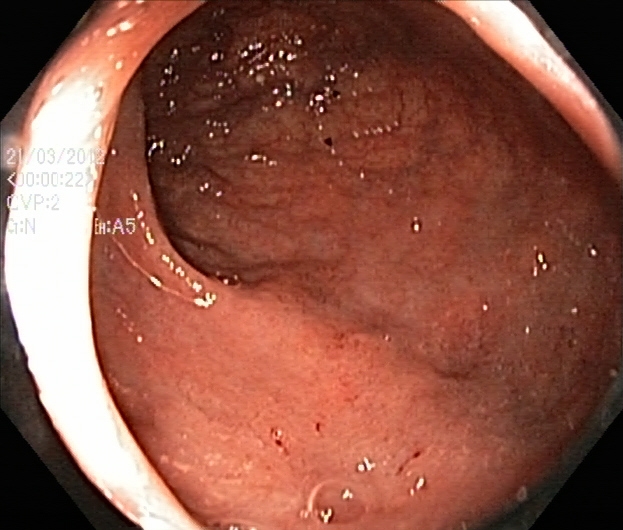PROCEDURE: Lower-GI endoscopy.
FINDINGS: Ulcerative colitis, Mayo endoscopic subscore 1.